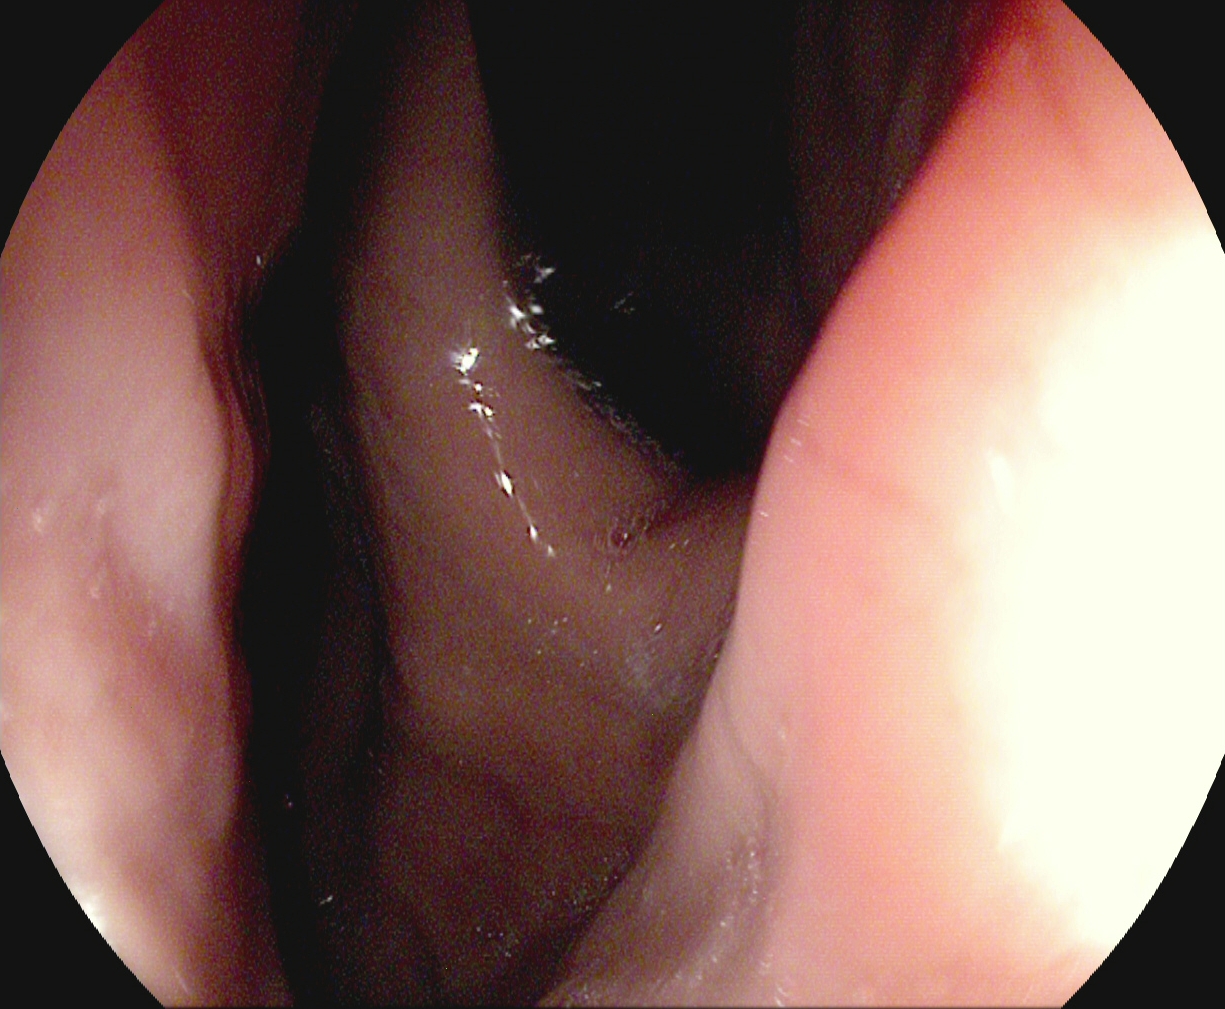Upper-GI endoscopy. Tract: upper GI tract. Finding: stomach in retroflexion.